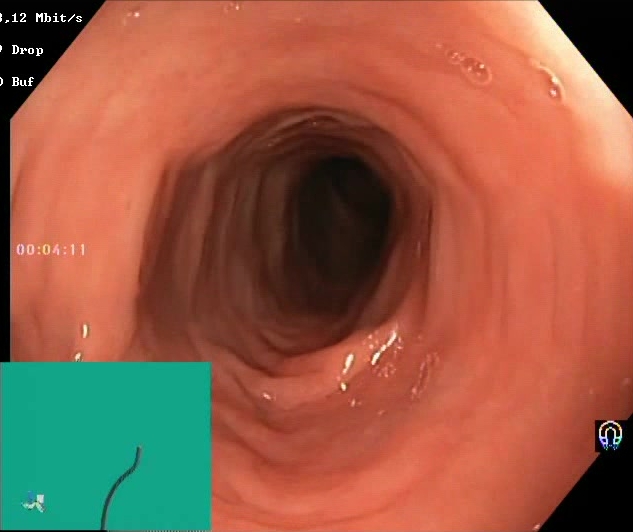{"modality": "colonoscopy", "tract": "lower GI tract", "category": "mucosal-view quality", "finding": "BBPS score 2\u20133 (adequate preparation)"}